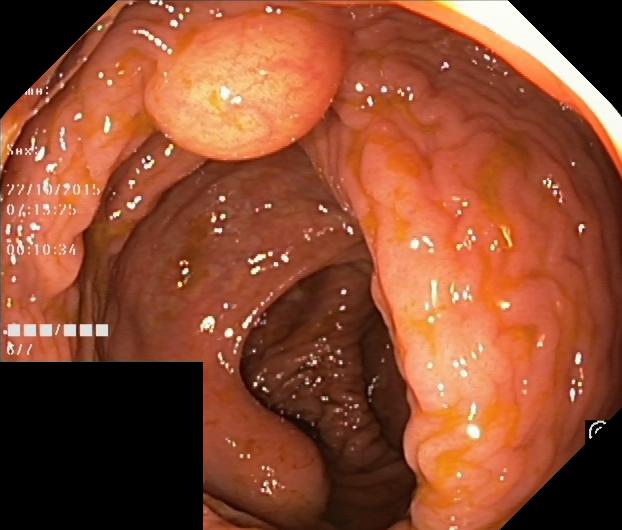PROCEDURE: Lower-GI endoscopy.
FINDINGS: Colorectal polyp(s).